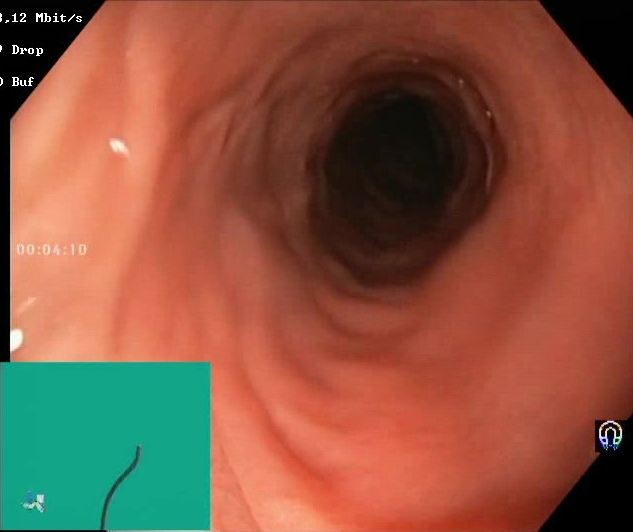BBPS score 2–3 (adequate preparation).